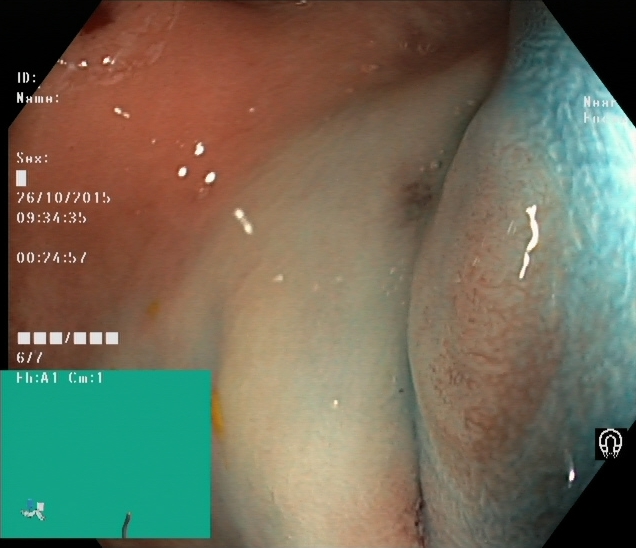GI endoscopy image of the lower GI tract showing dyed and lifted polyp (pre-resection).